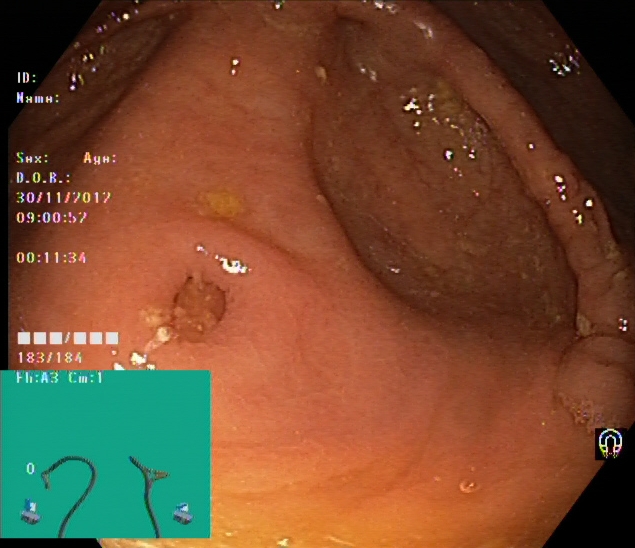{"modality": "colonoscopy", "tract": "lower GI tract", "category": "anatomical landmark", "finding": "cecum"}